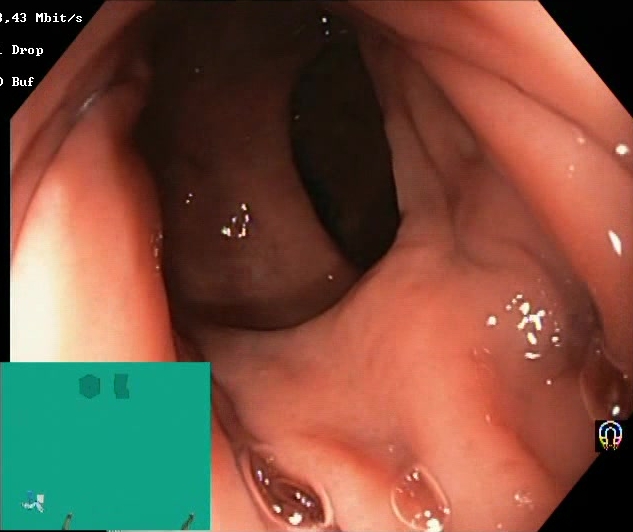Colonoscopy image showing Boston Bowel Preparation Scale score 2–3 (adequate preparation).